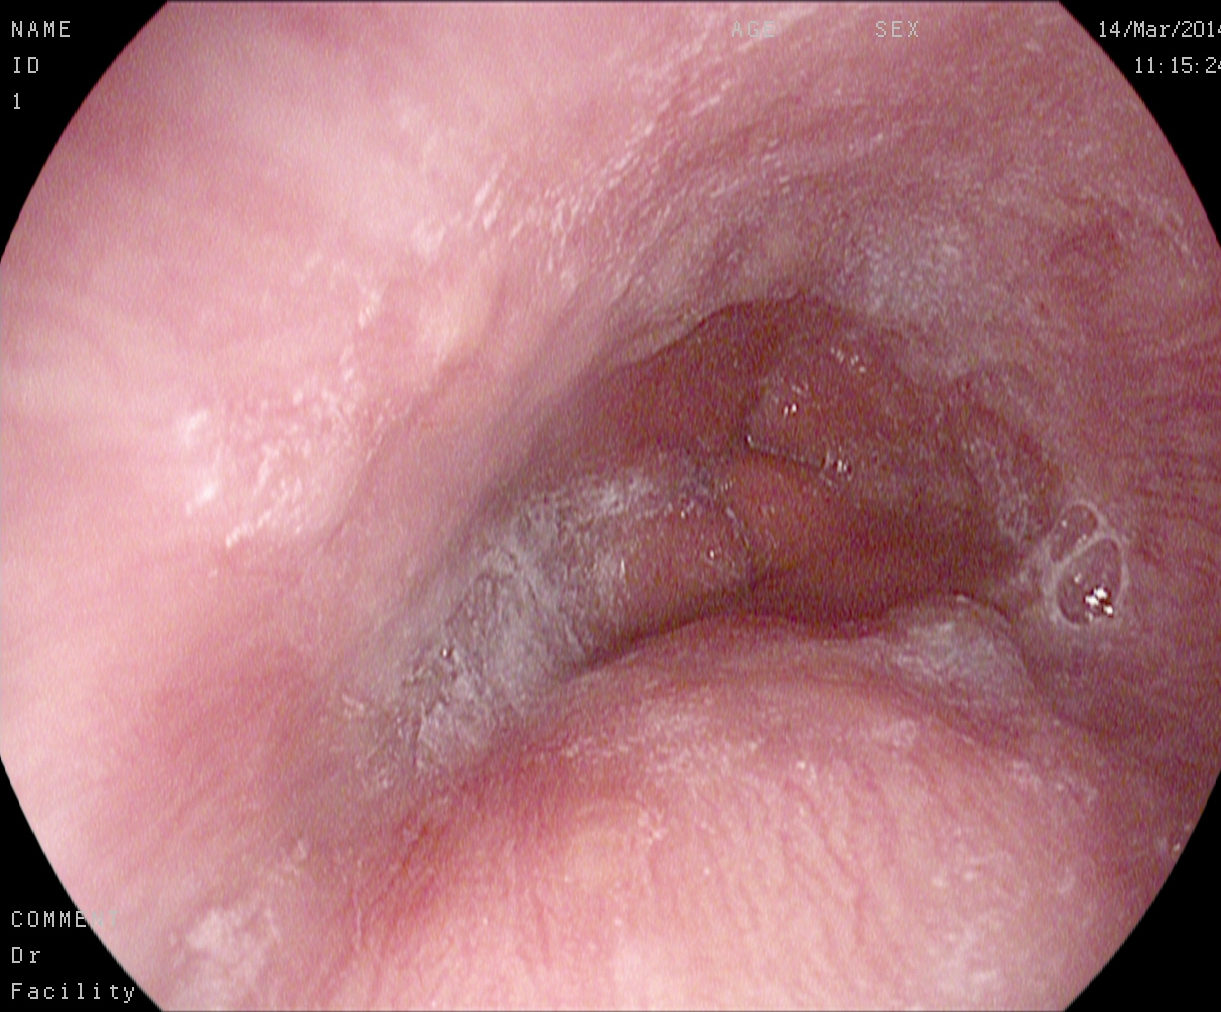Esophagogastroduodenoscopy image showing Z-line (gastroesophageal junction).